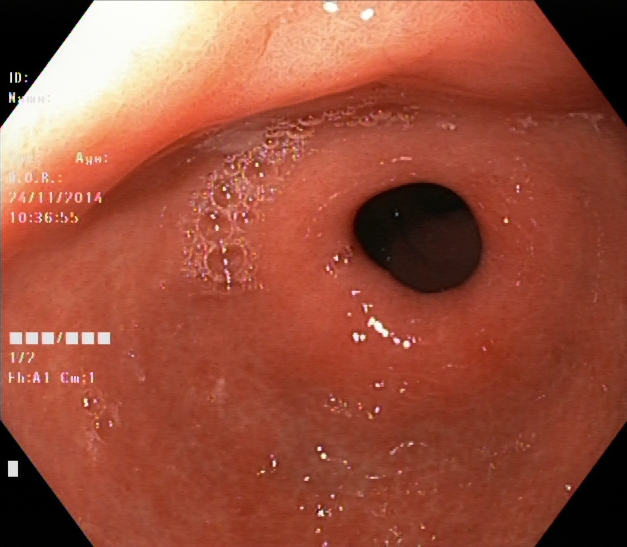This endoscopic image shows pylorus.